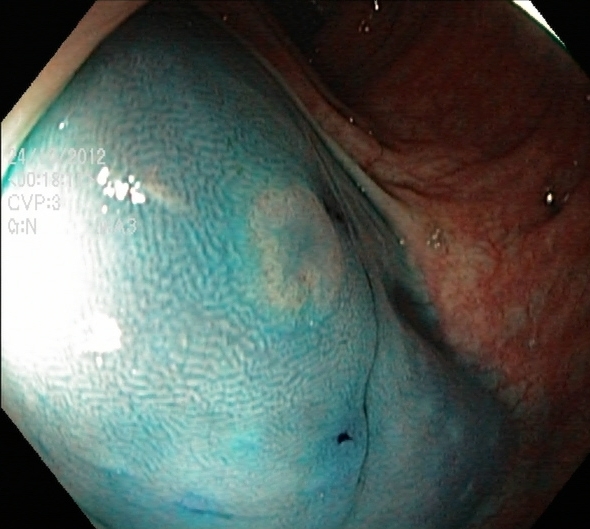Lower gastrointestinal endoscopy — dyed and lifted polyp (pre-resection).